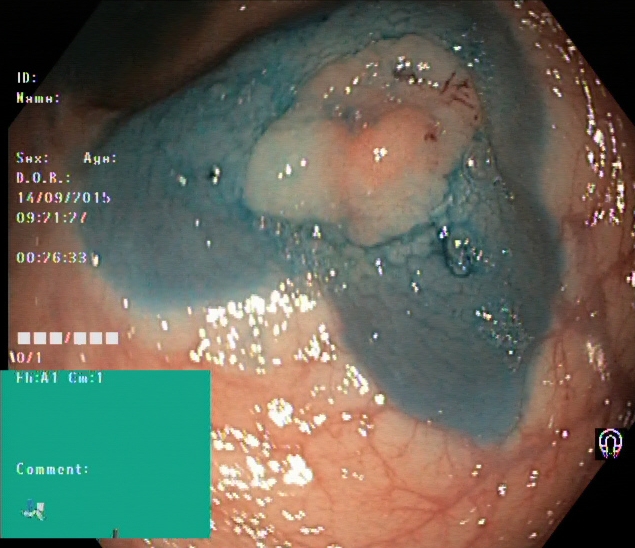Lower-GI endoscopy — dyed and lifted polyp (pre-resection).